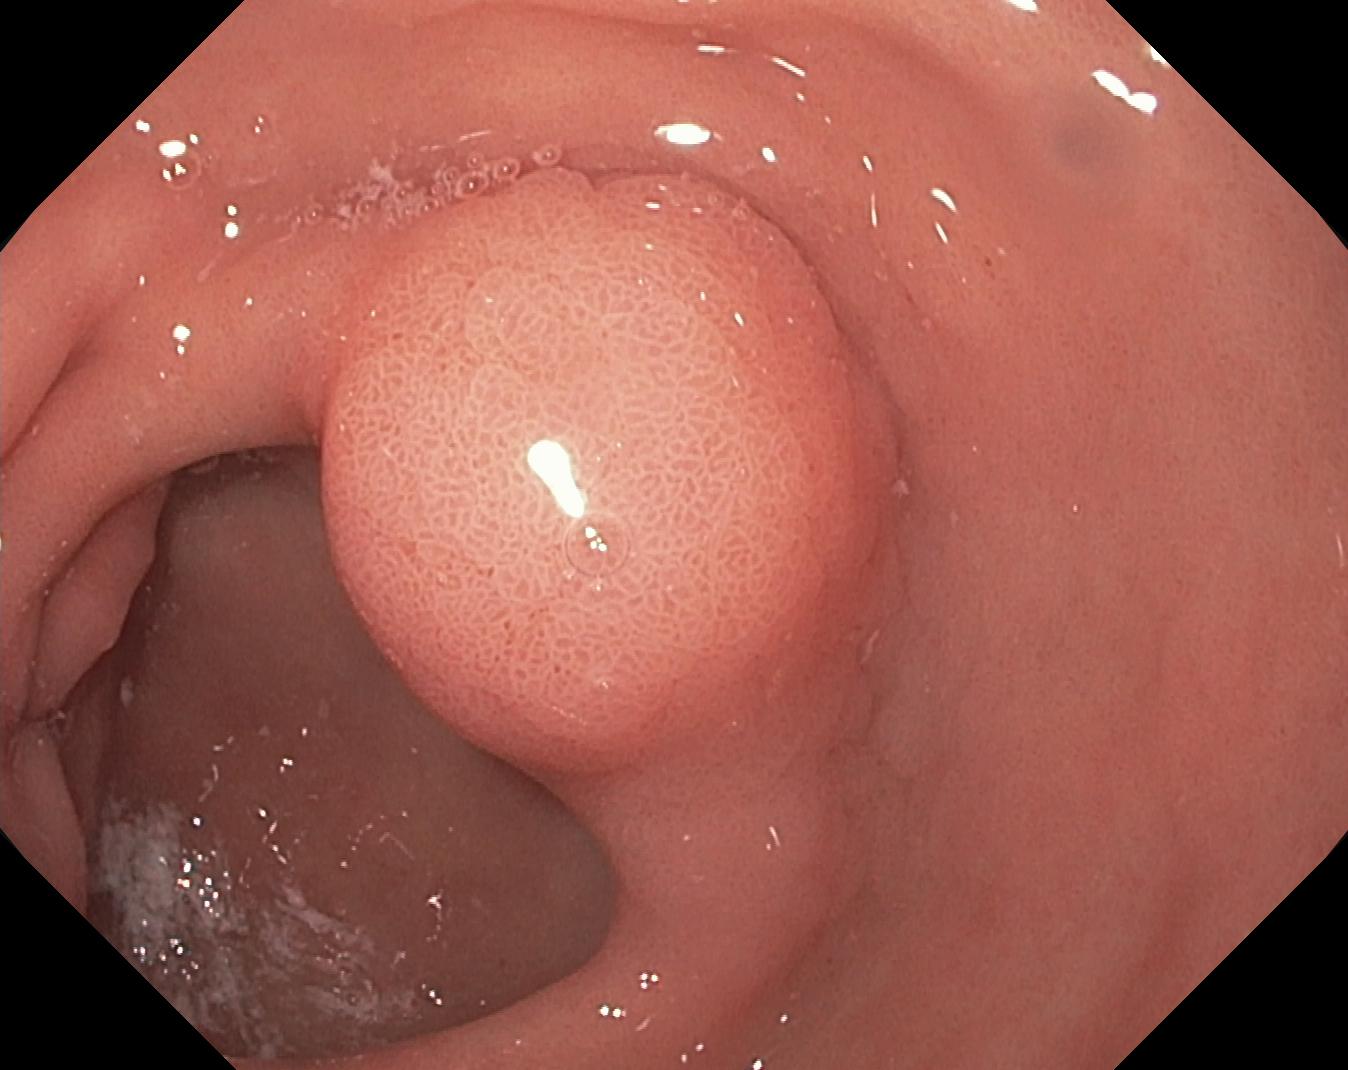modality: lower gastrointestinal endoscopy; category: pathological finding; finding: colorectal polyp(s)